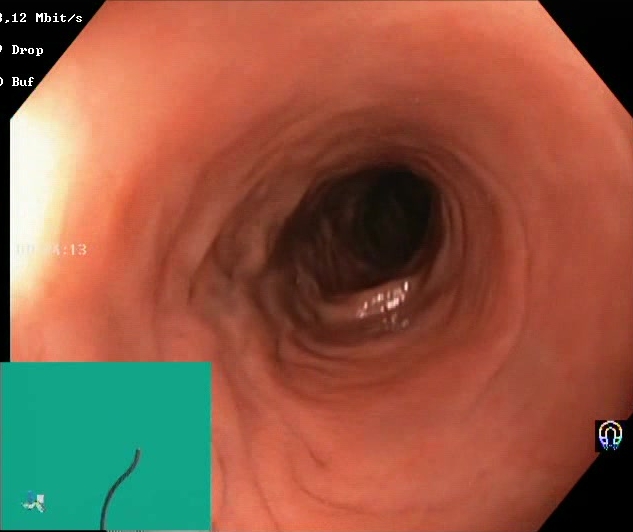{"modality": "colonoscopy", "finding": "BBPS score 2\u20133 (adequate preparation)"}